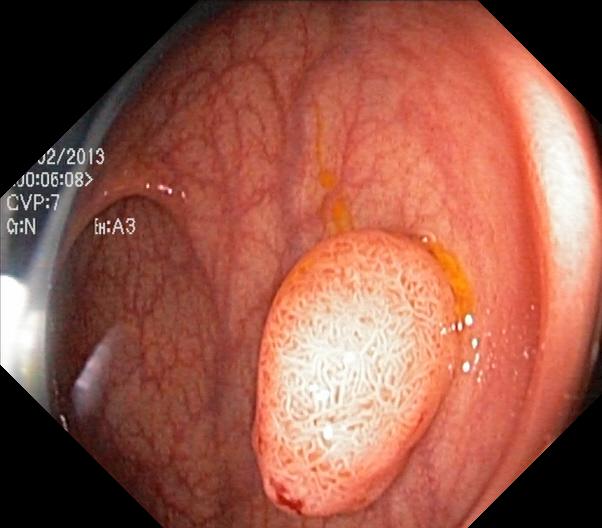PROCEDURE: Lower gastrointestinal endoscopy.
FINDINGS: Colorectal polyp(s).